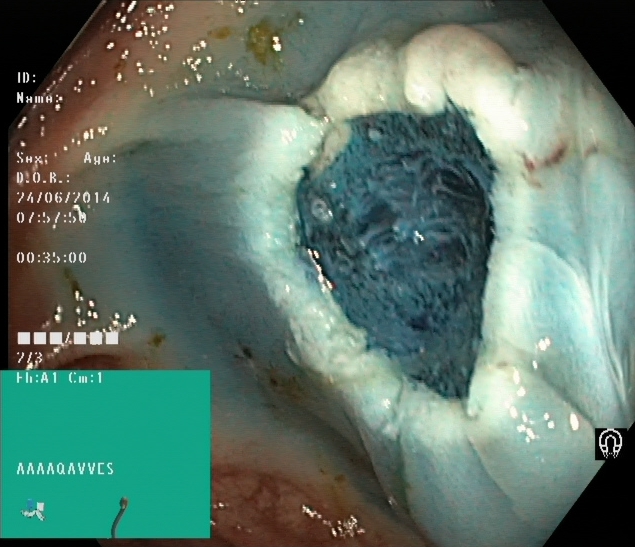{"modality": "colonoscopy", "tract": "lower GI tract", "category": "therapeutic intervention", "finding": "dyed resection margins (post-polypectomy)"}